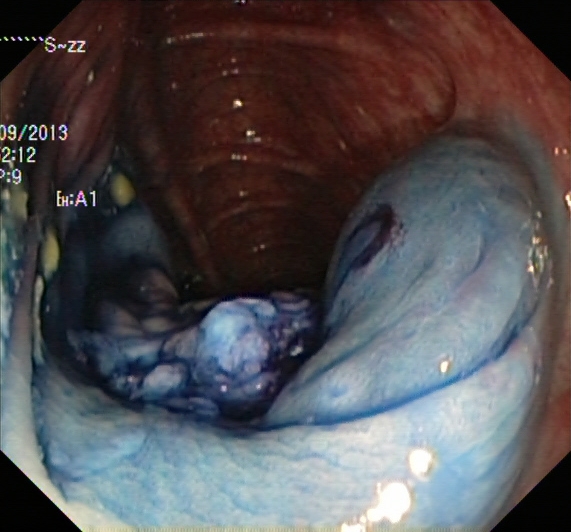PROCEDURE: Colonoscopy.
FINDINGS: Dyed and lifted polyp (pre-resection).